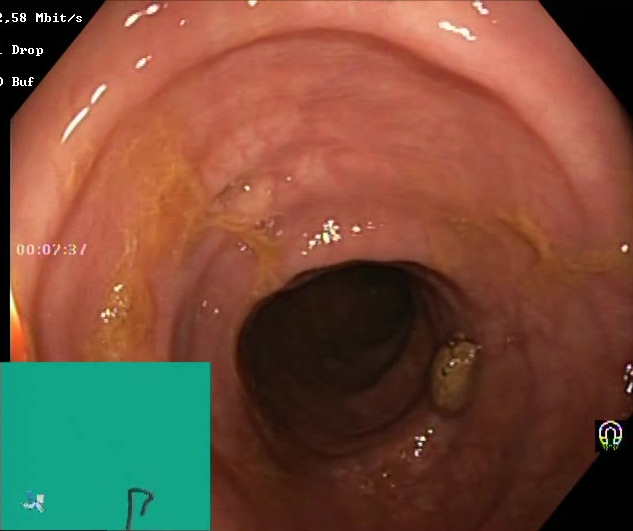Boston Bowel Preparation Scale score 0–1 (inadequate preparation).